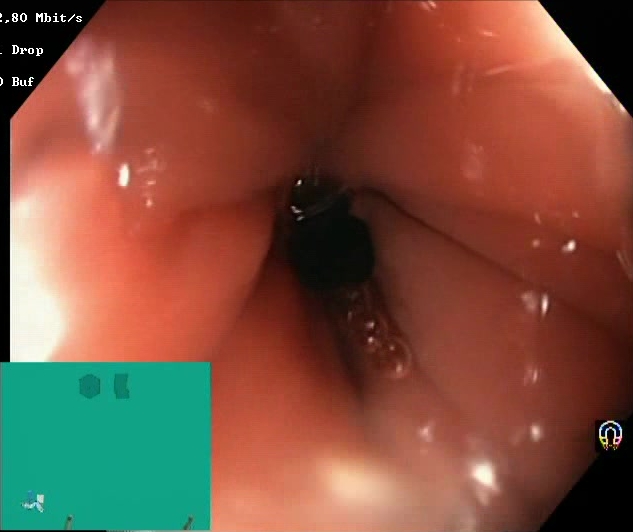Boston Bowel Preparation Scale score 2–3 (adequate preparation).